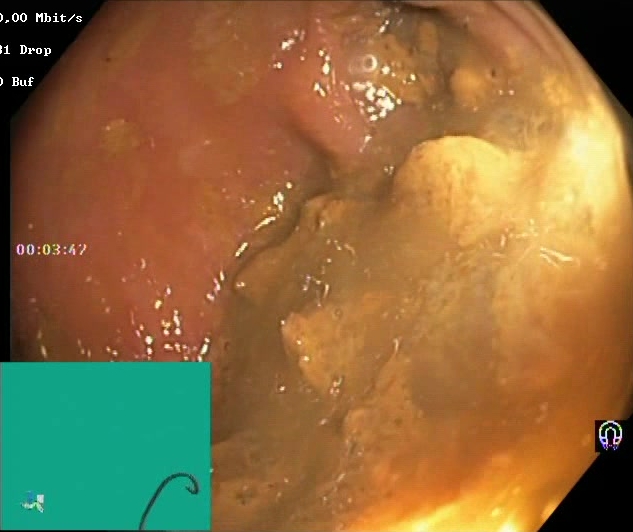{"modality": "colonoscopy", "tract": "lower GI tract", "category": "mucosal-view quality", "finding": "BBPS score 0\u20131 (inadequate preparation)"}